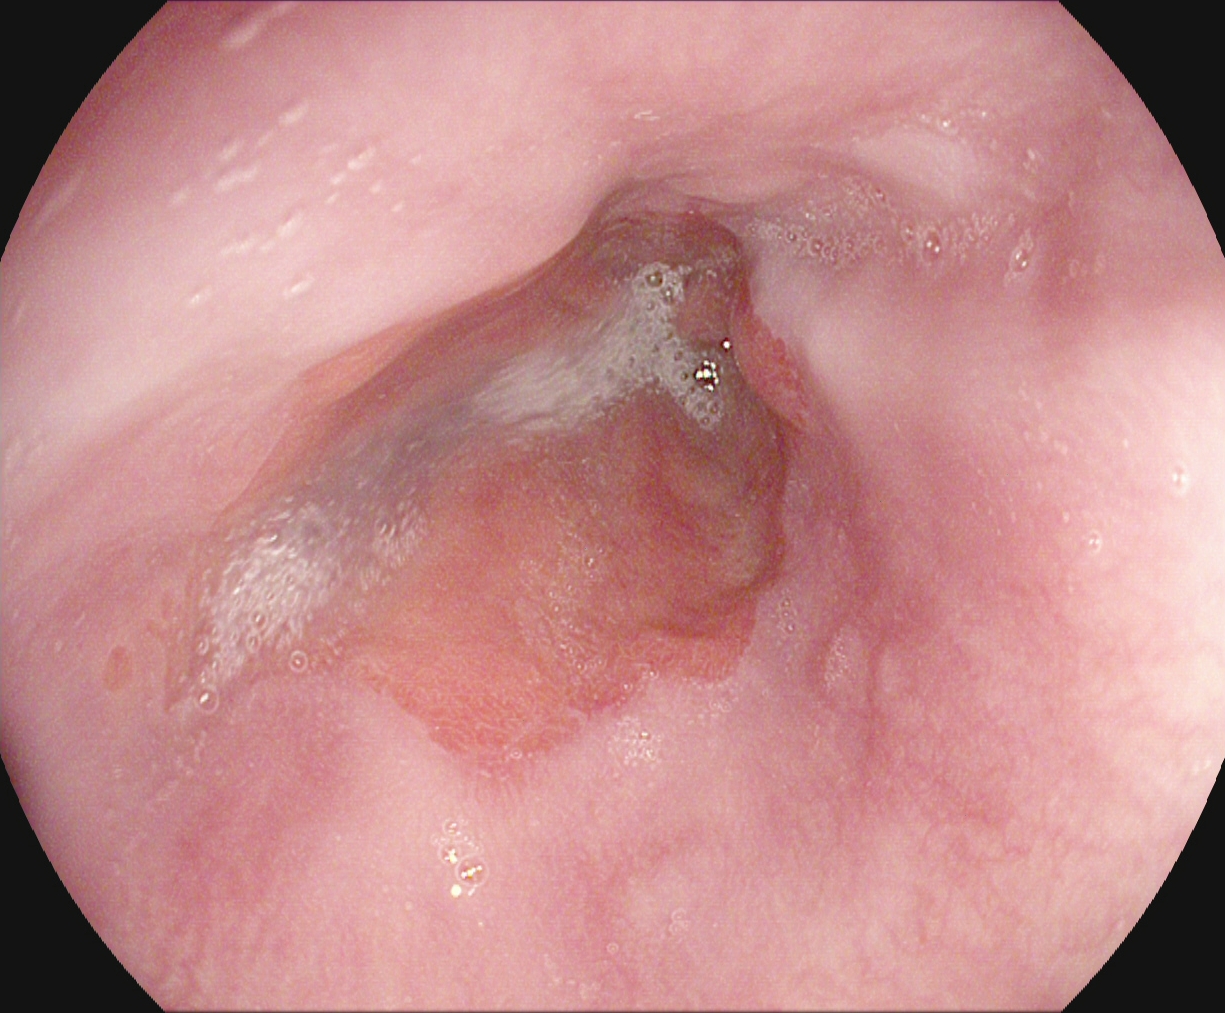modality: esophagogastroduodenoscopy | tract: upper GI tract | category: pathological finding | finding: reflux esophagitis, Los Angeles grade A